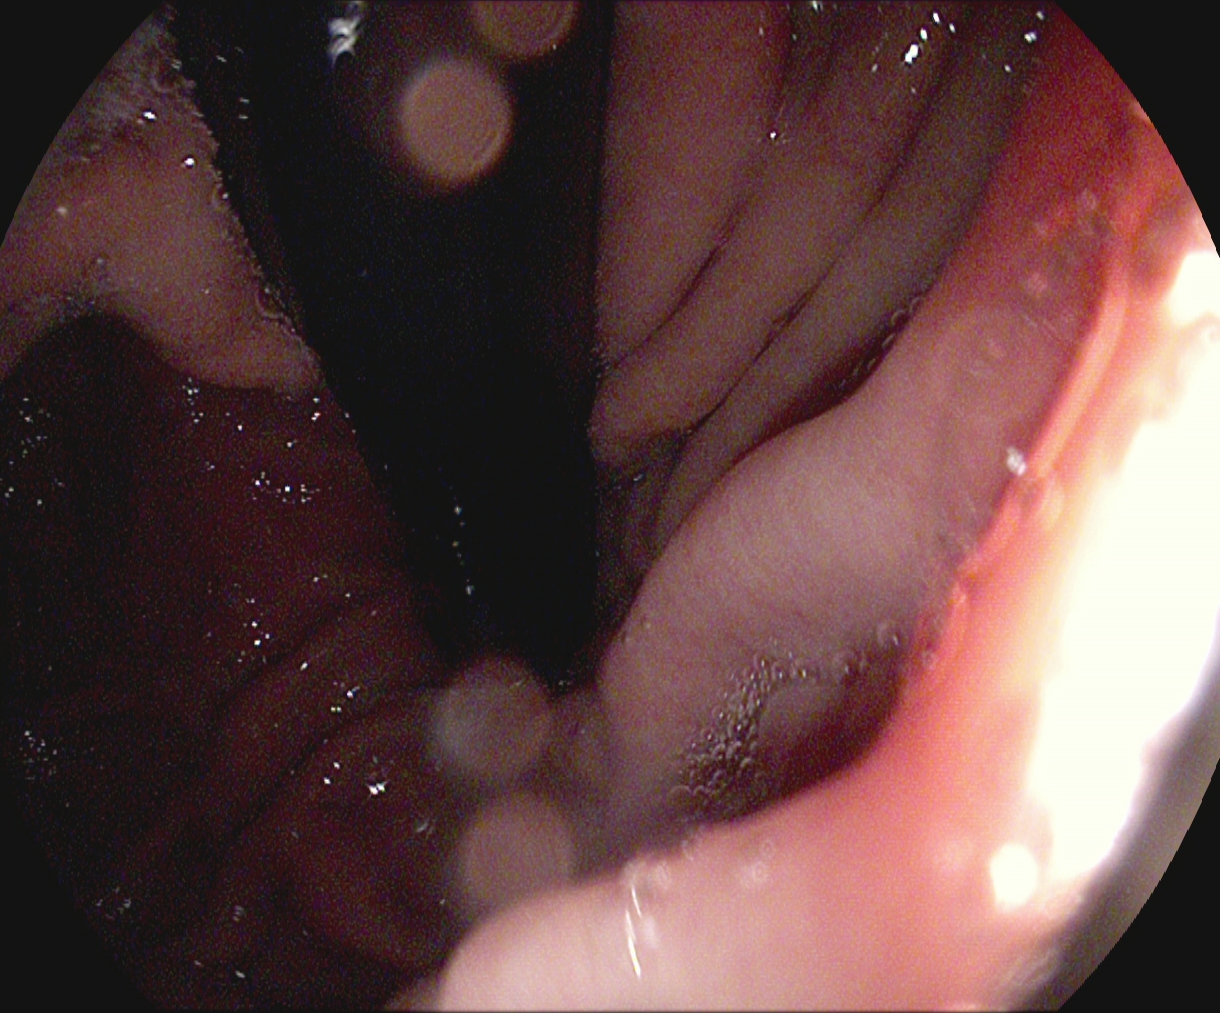stomach in retroflexion.